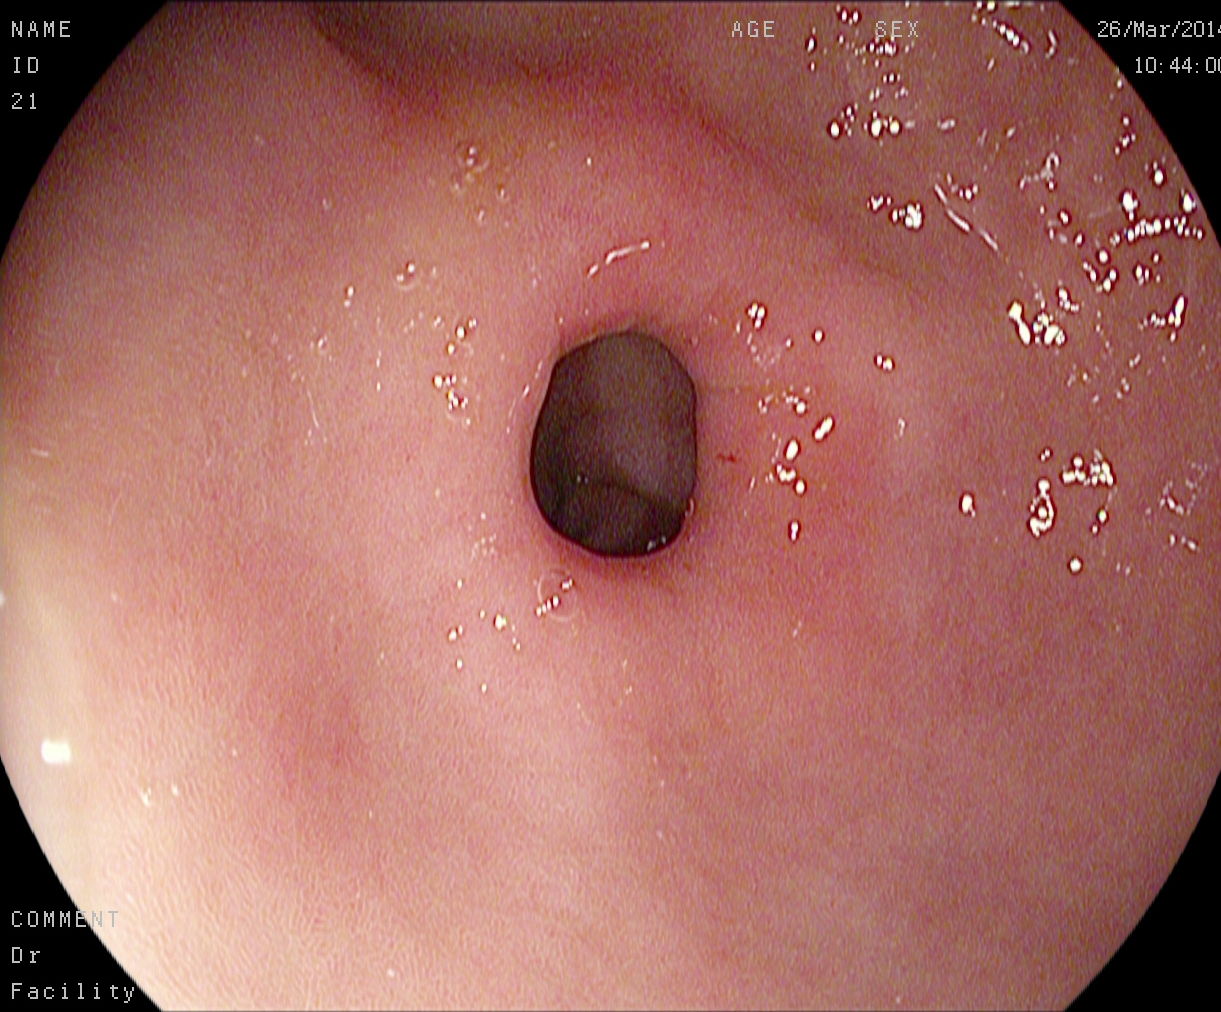{"modality": "esophagogastroduodenoscopy", "finding": "pylorus"}